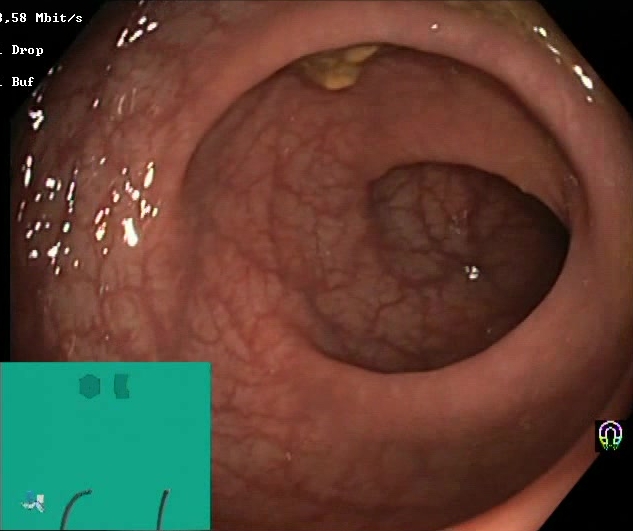Boston Bowel Preparation Scale score 2–3 (adequate preparation).